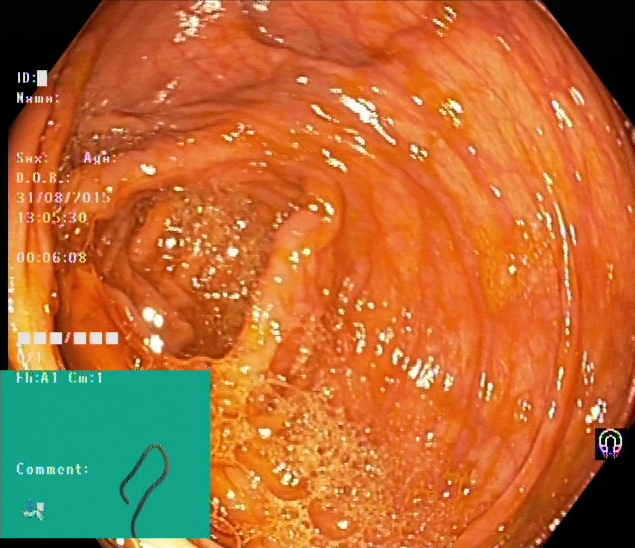{"modality": "lower gastrointestinal endoscopy", "category": "anatomical landmark", "finding": "cecum"}